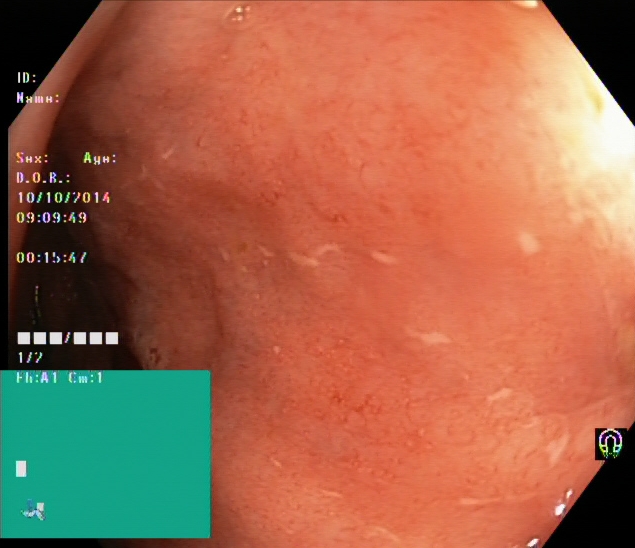Endoscopic frame of the lower GI tract showing ulcerative colitis, Mayo endoscopic subscore 2.